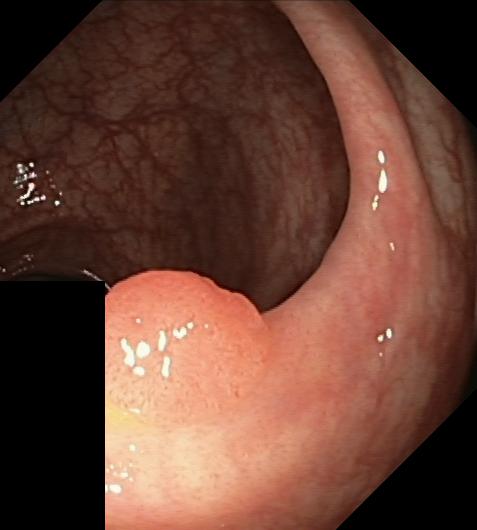Colorectal polyp(s).